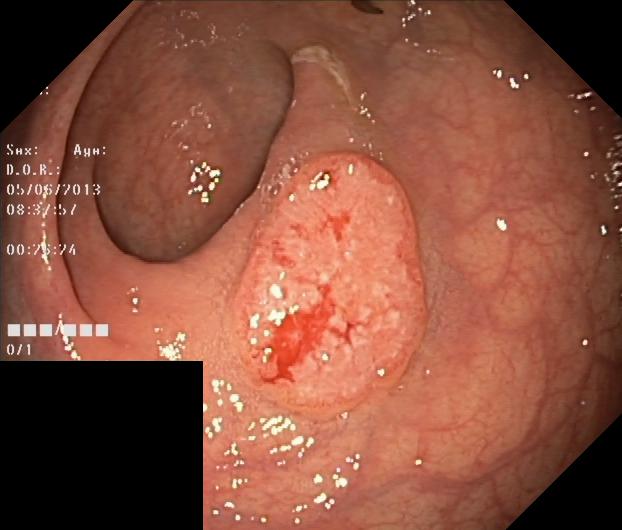This endoscopy frame shows colorectal polyp(s).